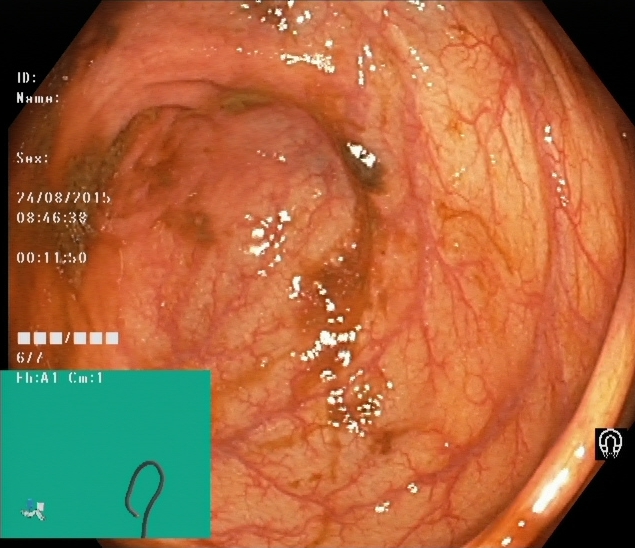Lower-GI endoscopy — cecum.